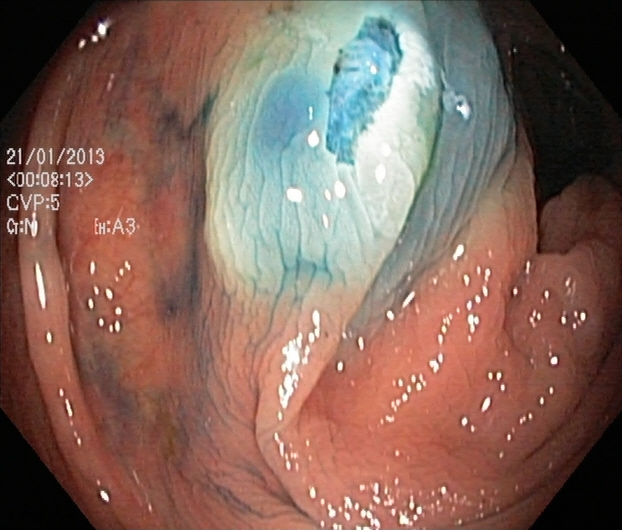modality: lower-GI endoscopy
tract: lower GI tract
finding: dyed resection margins (post-polypectomy)